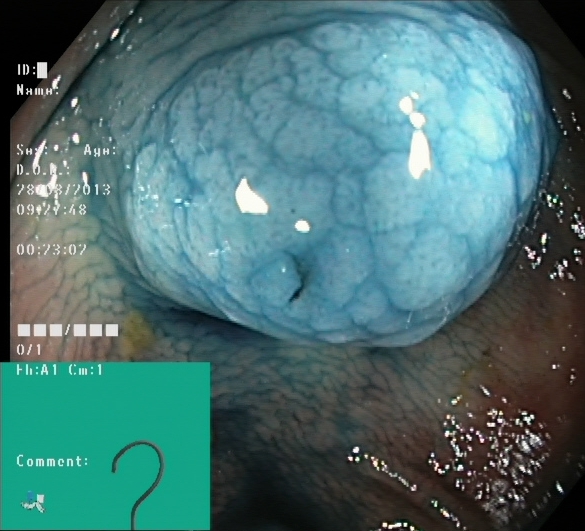{"modality": "colonoscopy", "tract": "lower GI tract", "category": "therapeutic intervention", "finding": "dyed and lifted polyp (pre-resection)"}